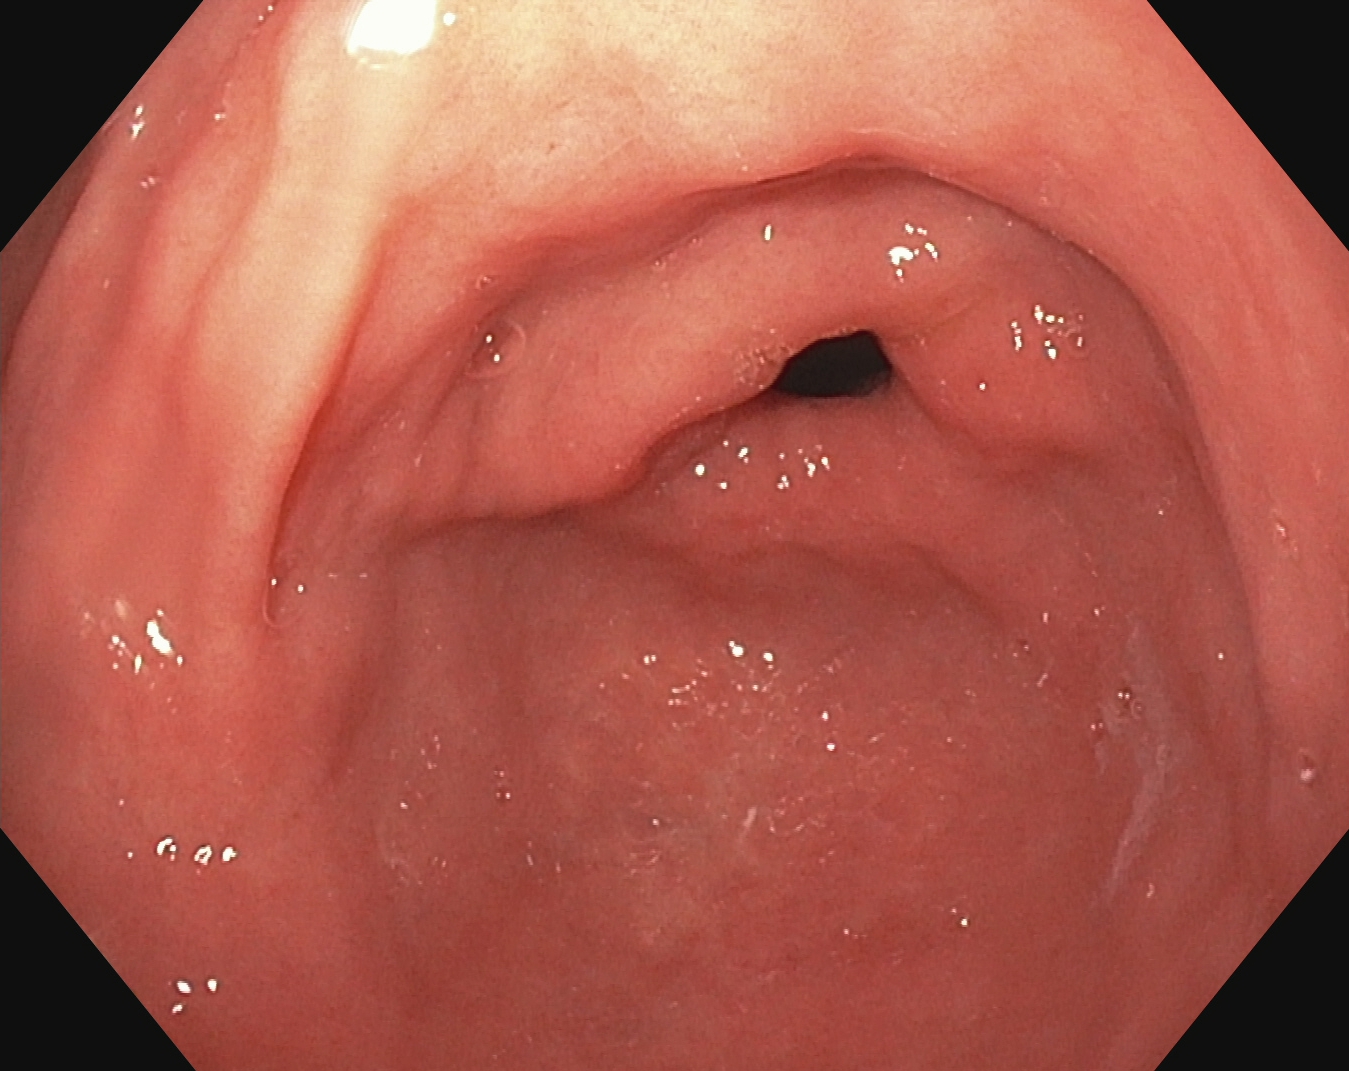This endoscopy frame shows pylorus.